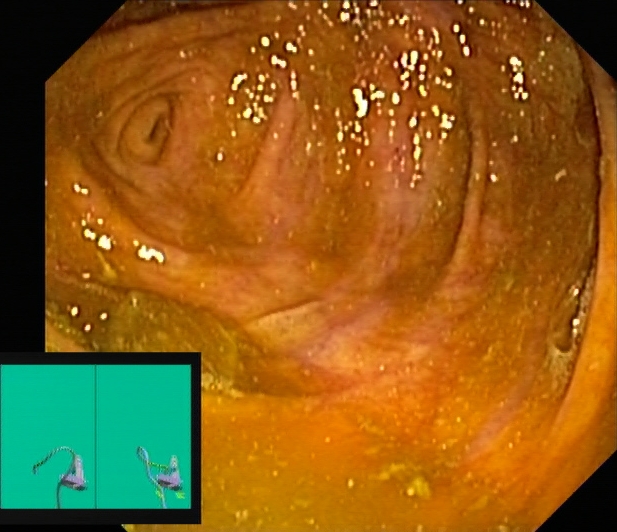PROCEDURE: Lower gastrointestinal endoscopy.
CATEGORY: Anatomical landmark.
FINDINGS: Cecum.